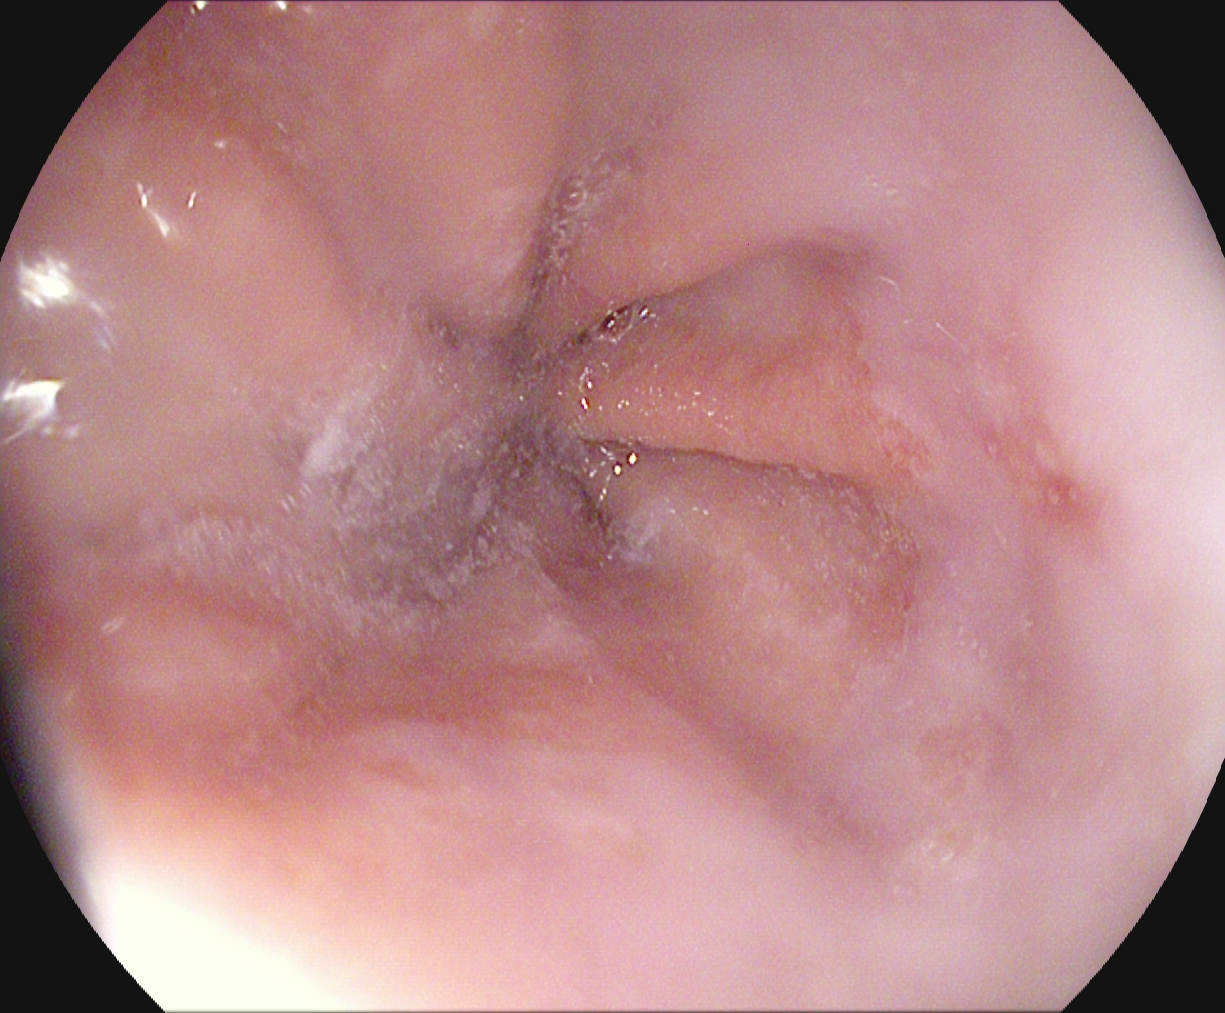This endoscopic image of the upper GI tract shows Z-line (gastroesophageal junction).